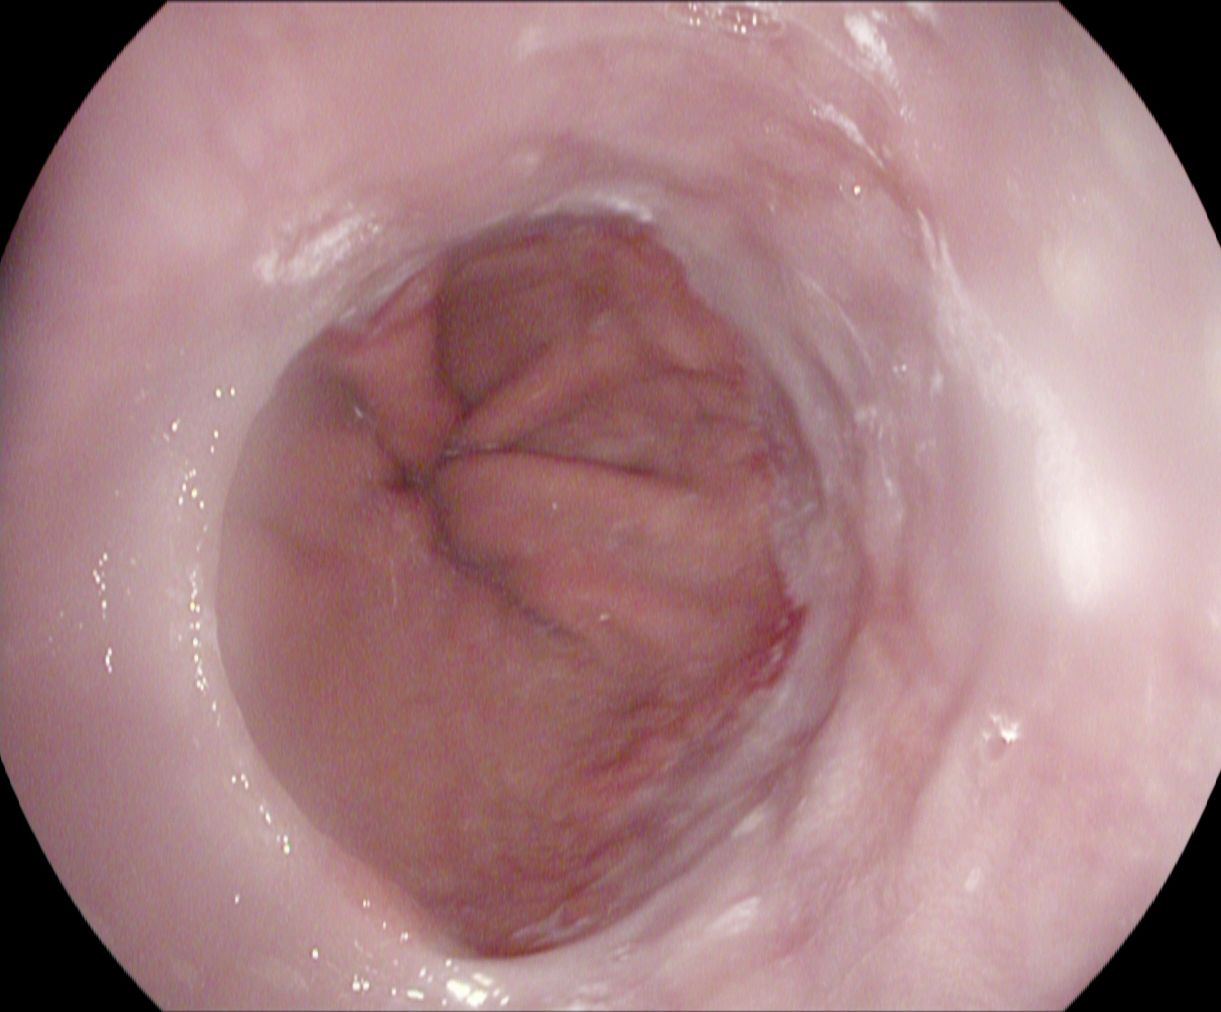Esophagogastroduodenoscopy. Tract: upper GI tract. Finding: reflux esophagitis, LA grade A.